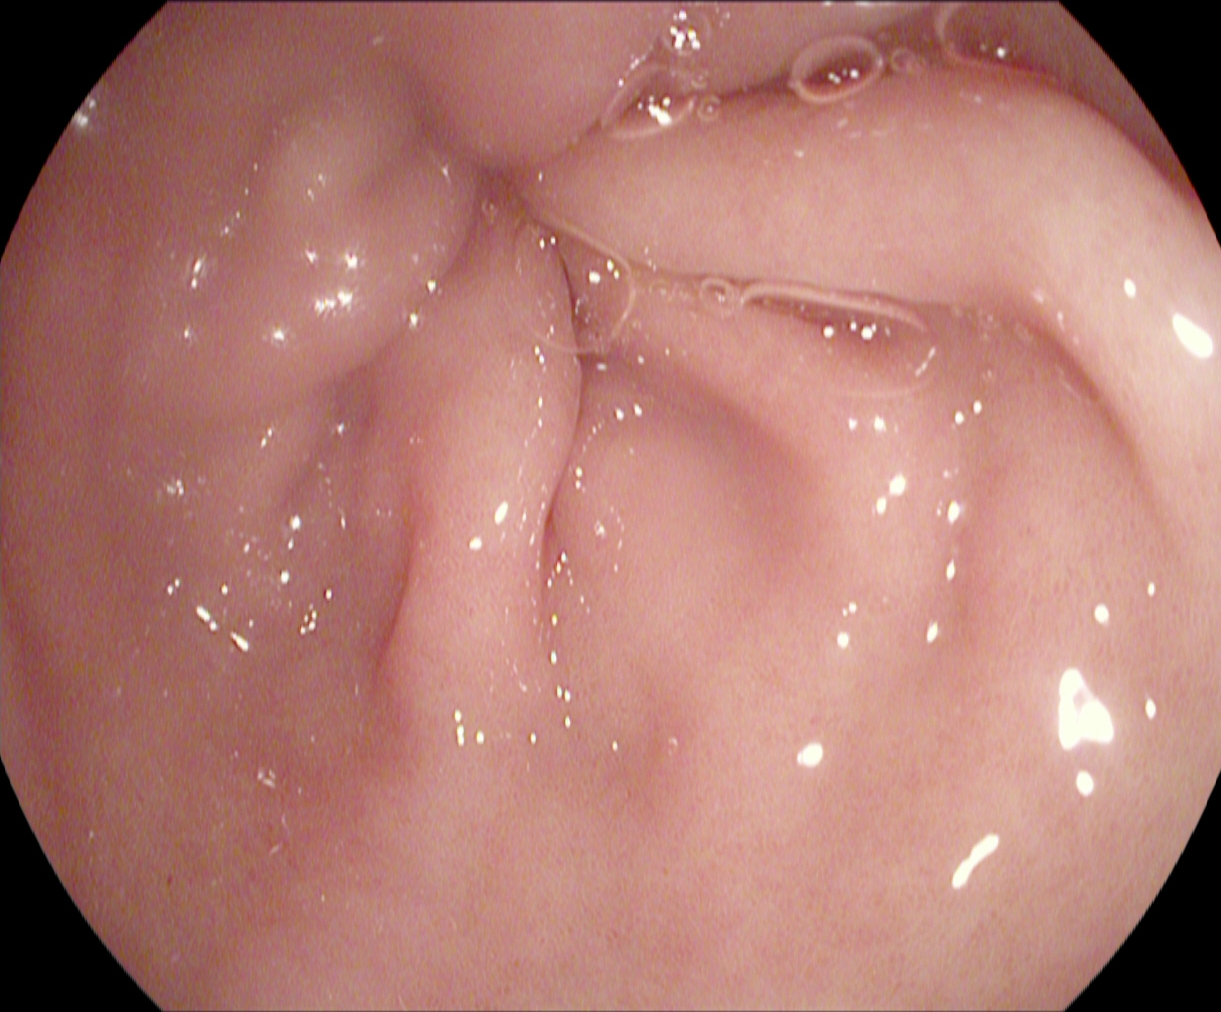EGD — pylorus.